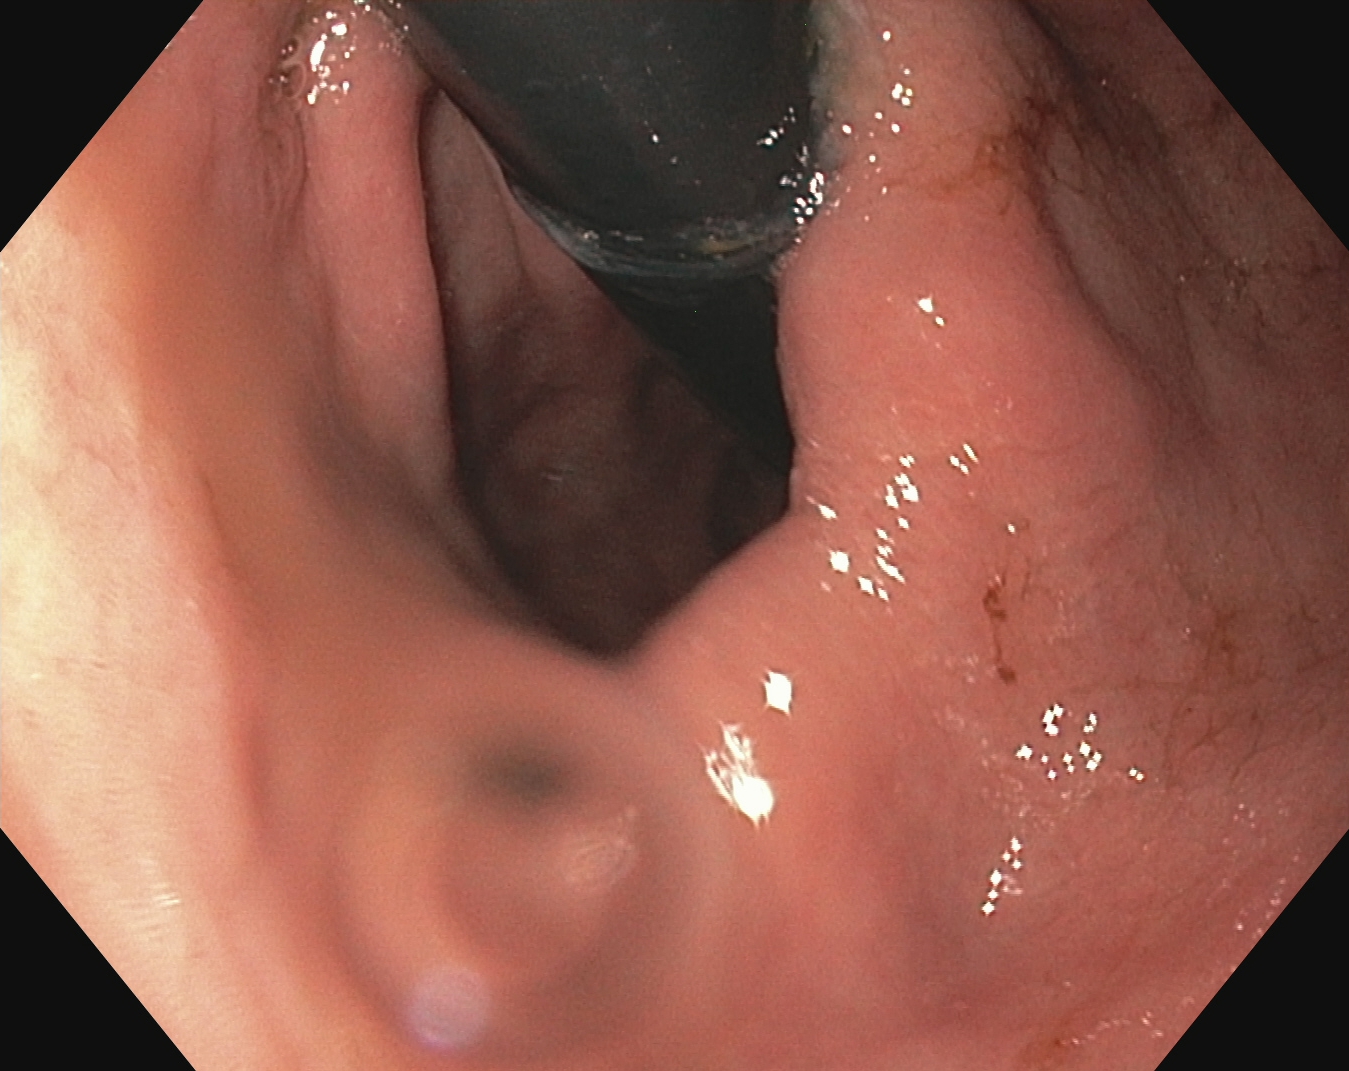PROCEDURE: Esophagogastroduodenoscopy.
FINDINGS: Stomach in retroflexion.